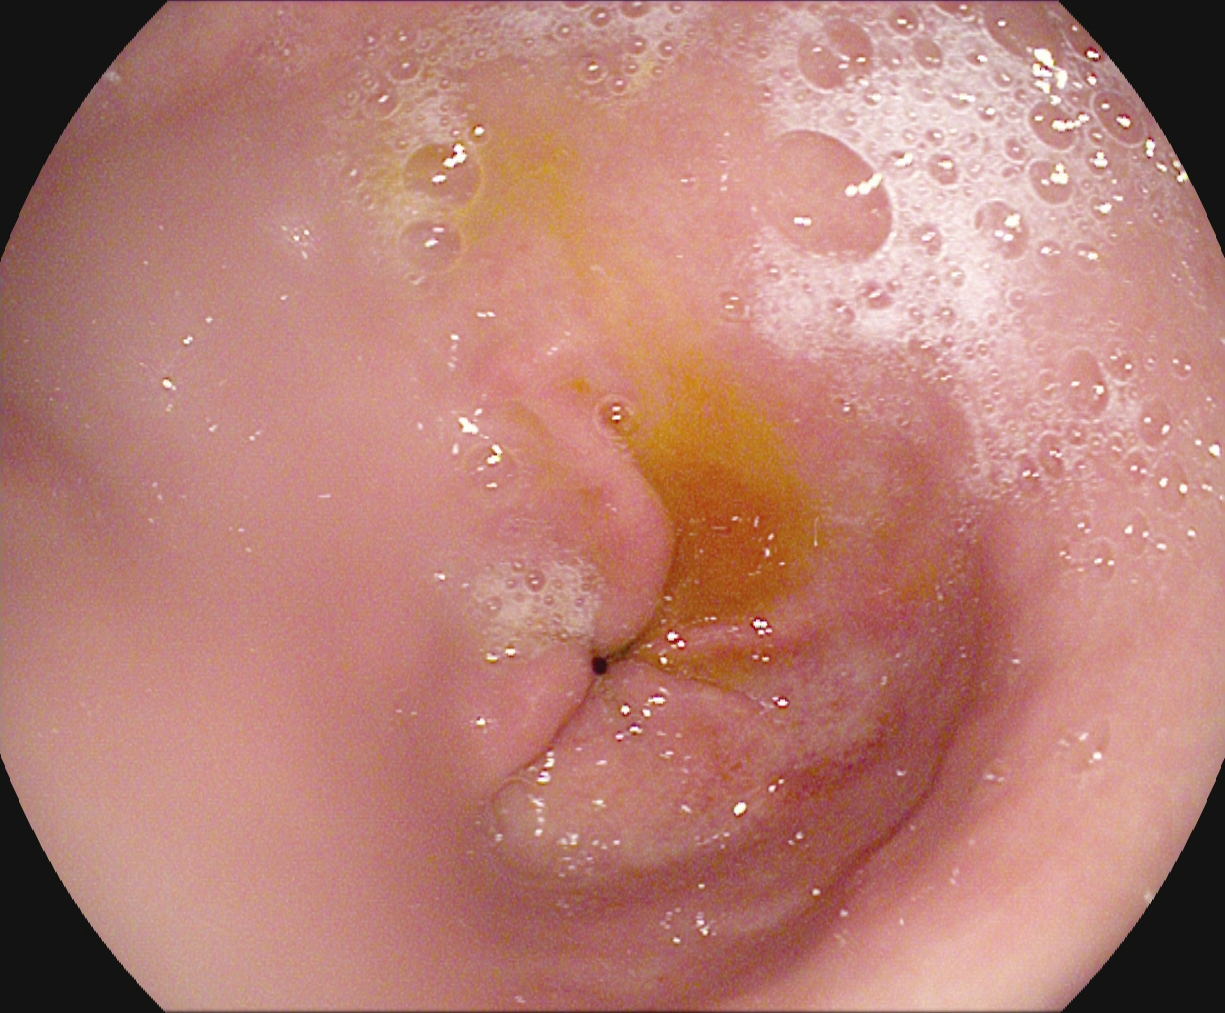Pylorus.